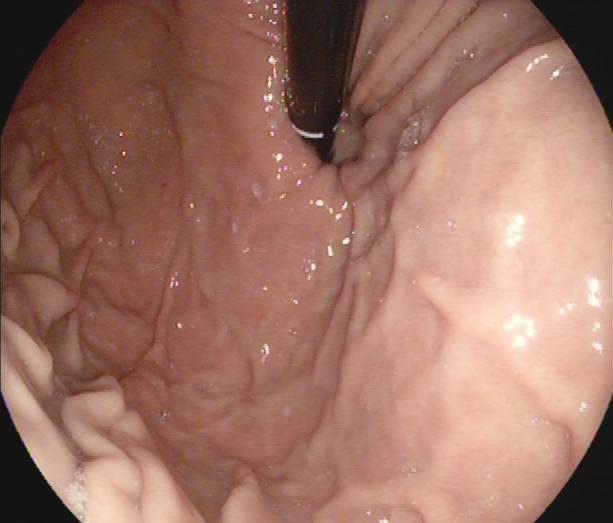Esophagogastroduodenoscopy. Anatomical landmark. Finding: stomach in retroflexion.